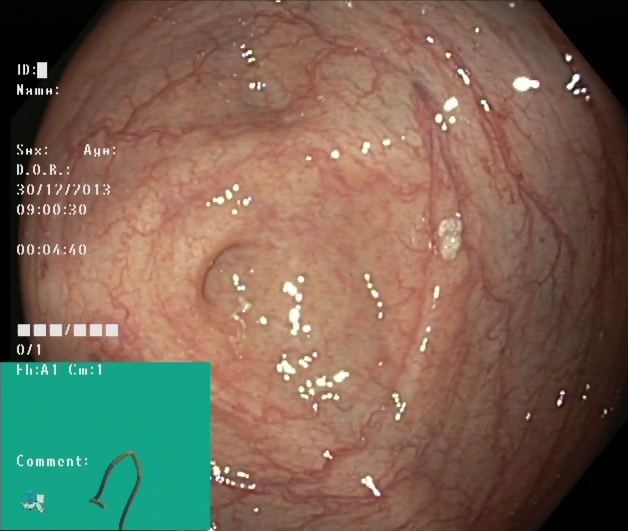This endoscopic image of the lower GI tract shows cecum.